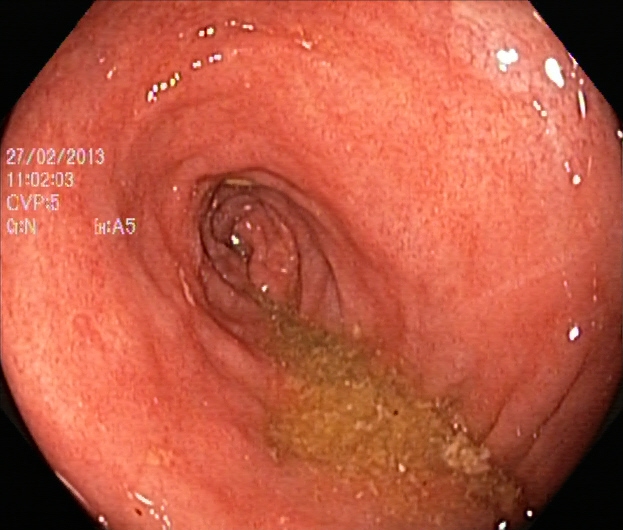modality: colonoscopy; tract: lower GI tract; finding: ulcerative colitis, Mayo endoscopic subscore 2